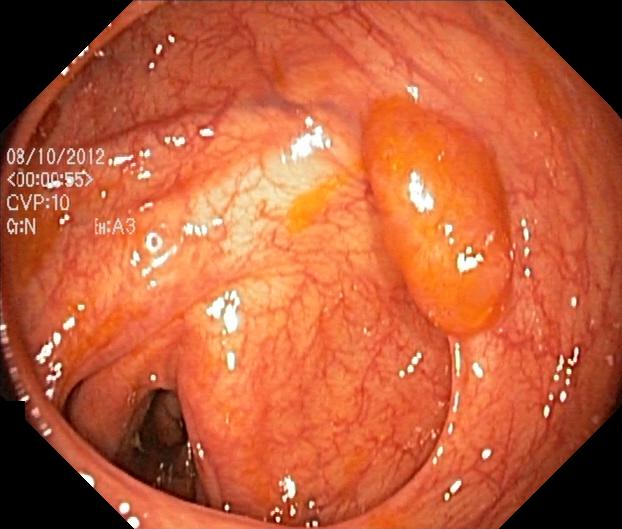Lower-GI endoscopy. Pathological finding. Finding: colorectal polyp(s).